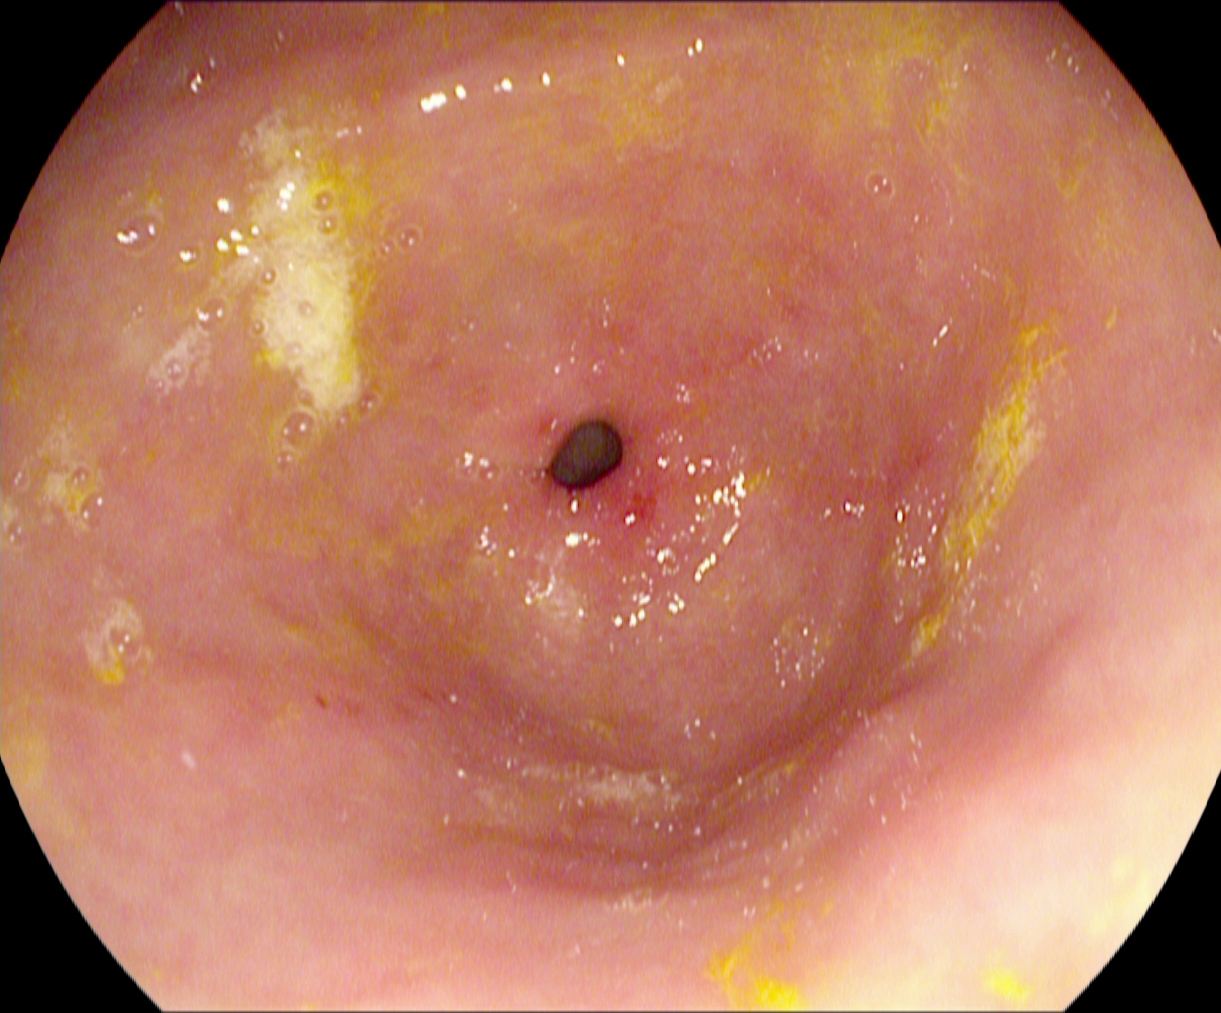modality: EGD | tract: upper GI tract | category: anatomical landmark | finding: pylorus